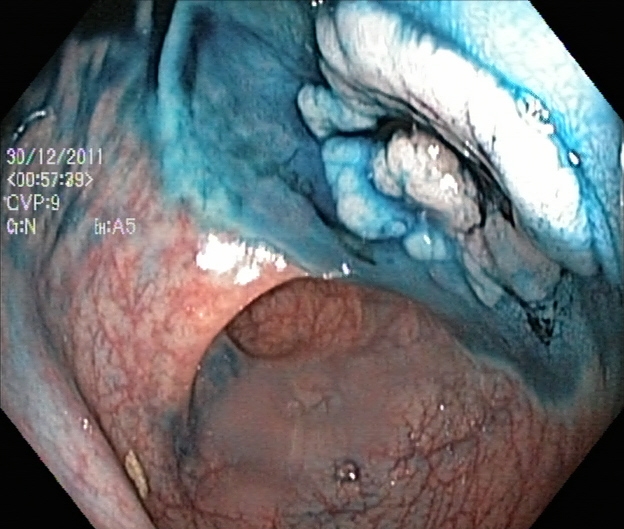modality: colonoscopy | tract: lower GI tract | category: therapeutic intervention | finding: dyed and lifted polyp (pre-resection)